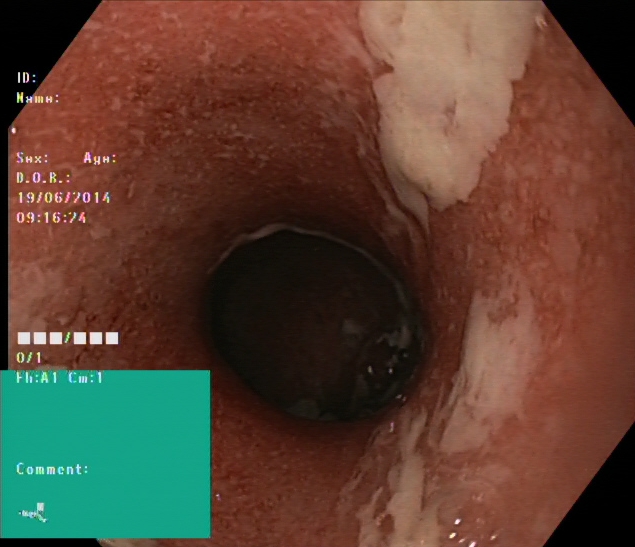Lower-GI endoscopy. Tract: lower GI tract. Pathological finding. Finding: ulcerative colitis, Mayo endoscopic subscore 2.